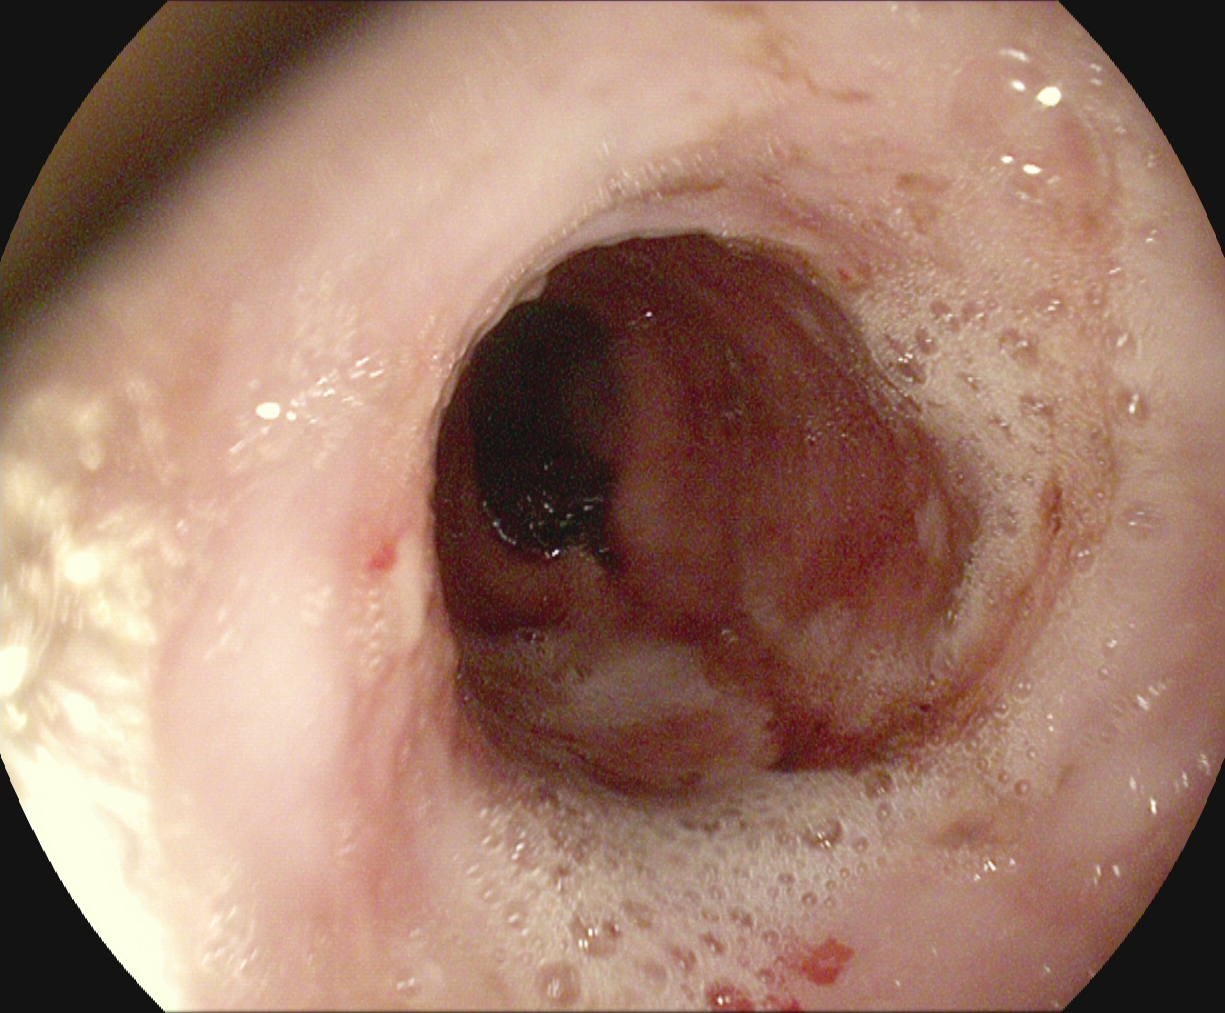modality: esophagogastroduodenoscopy; tract: upper GI tract; finding: reflux esophagitis, LA grade B–D